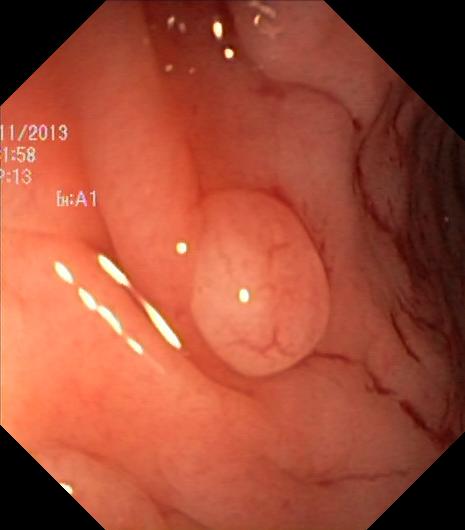Gastrointestinal endoscopy image of the lower GI tract showing colorectal polyp(s).